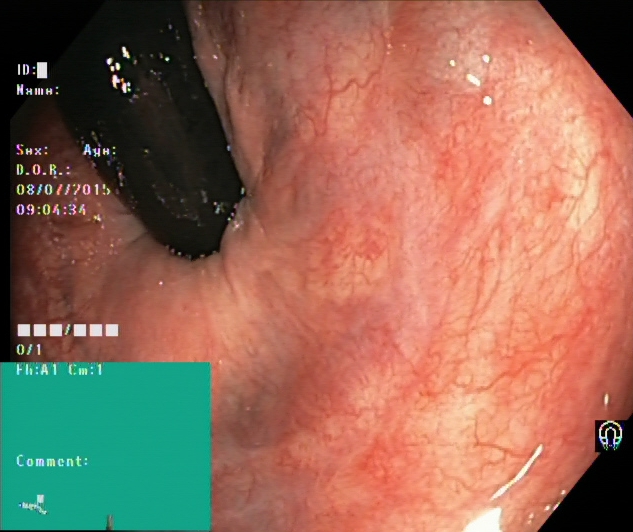Rectum in retroflexion.